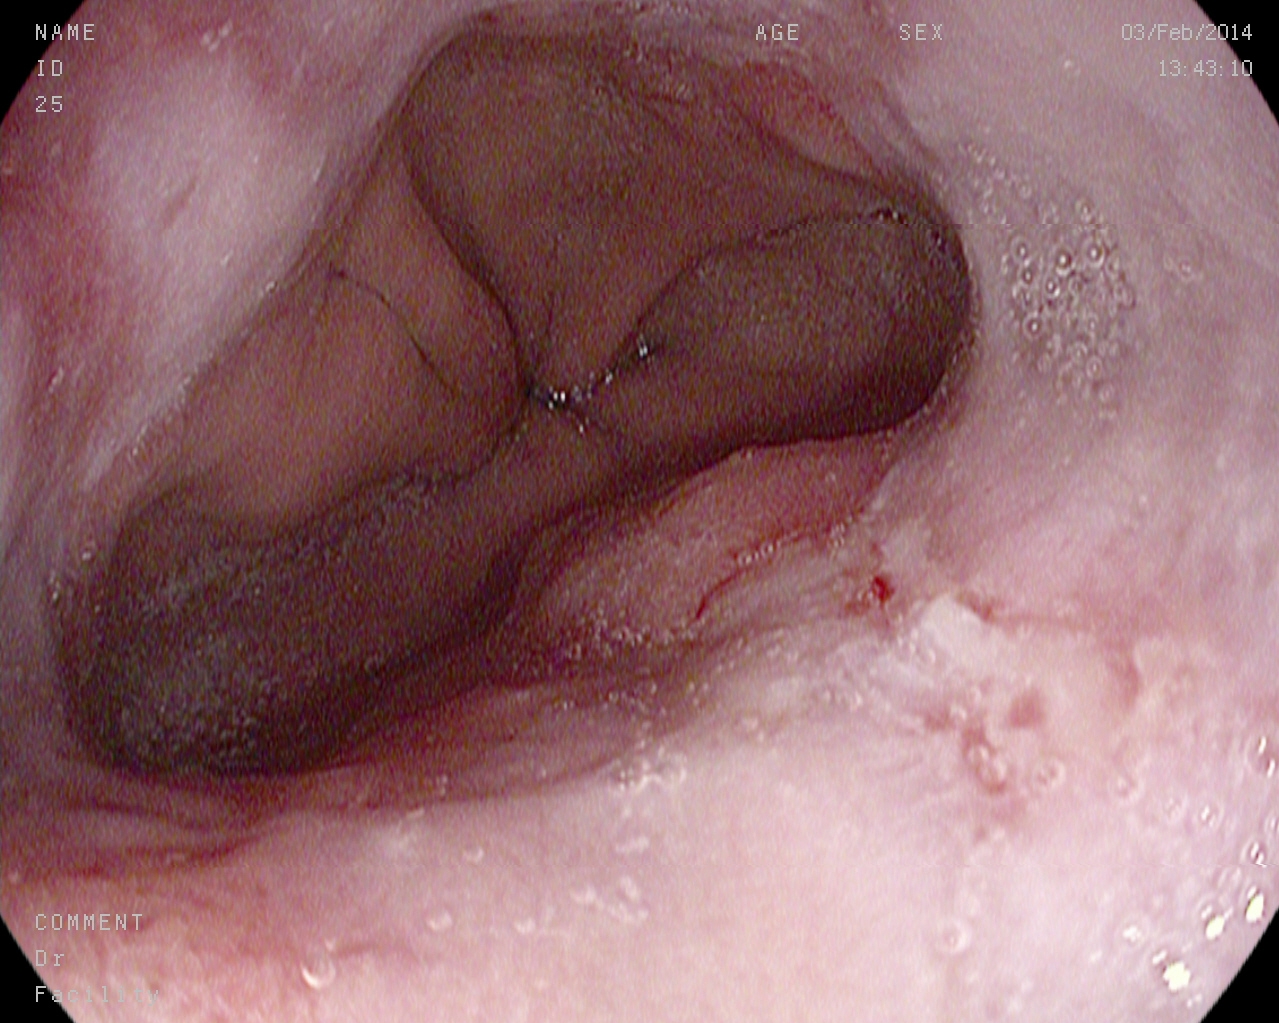This endoscopic image shows reflux esophagitis, Los Angeles grade A.